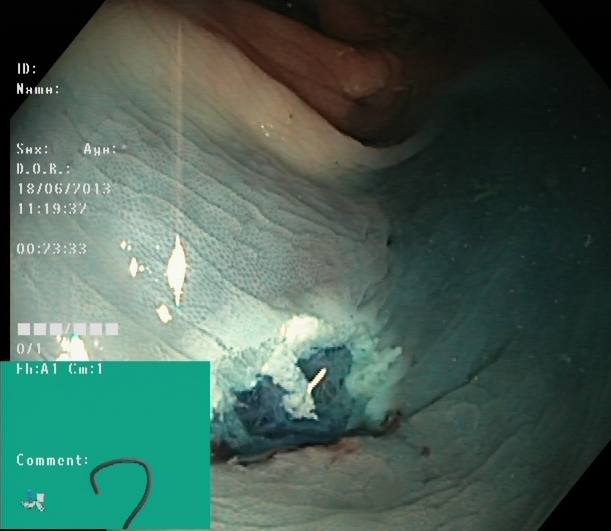Lower-GI endoscopy — dyed resection margins (post-polypectomy).